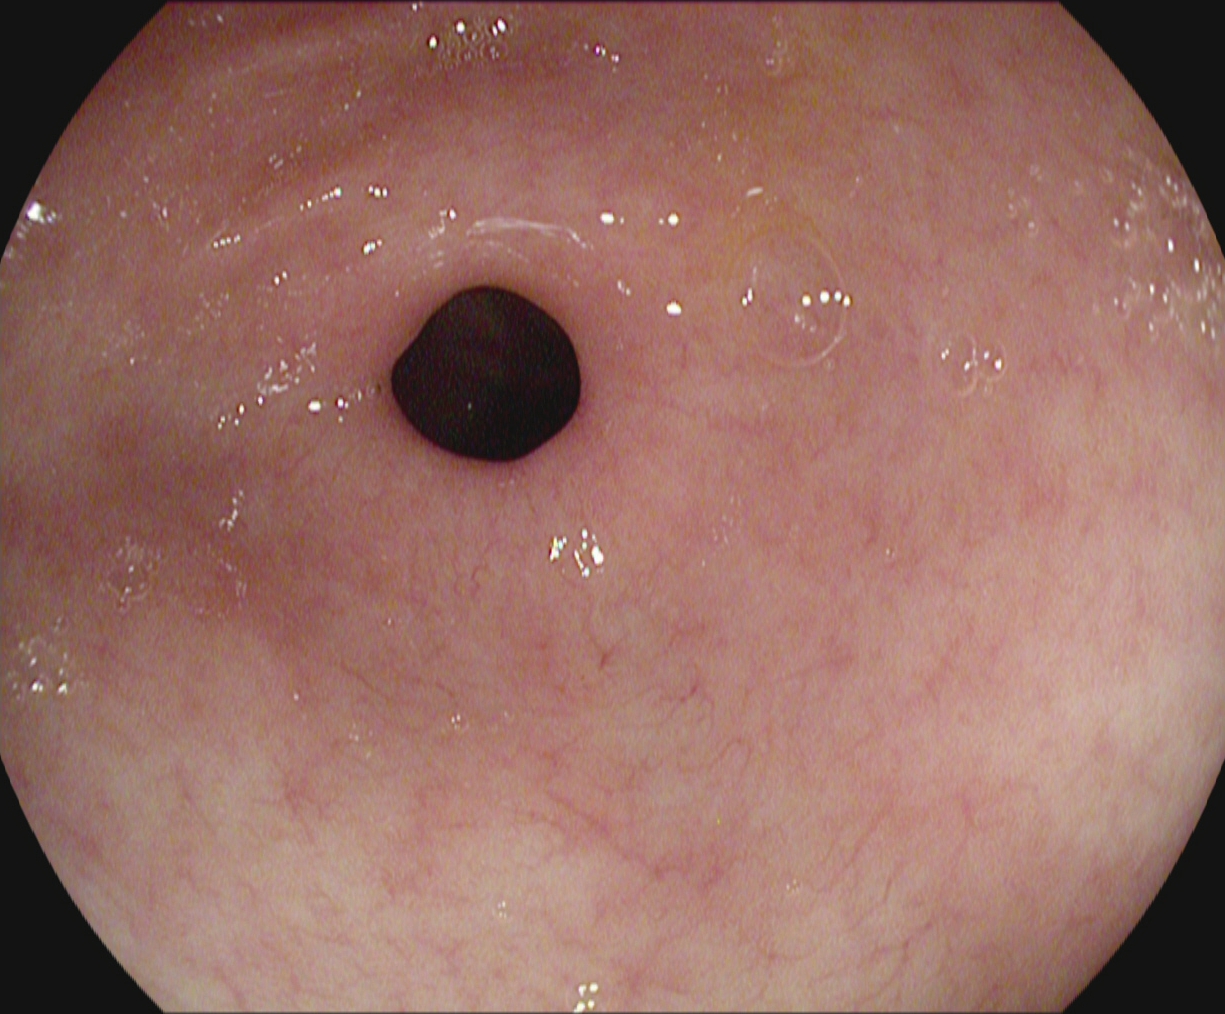Gastroscopy. Tract: upper GI tract. Finding: pylorus.